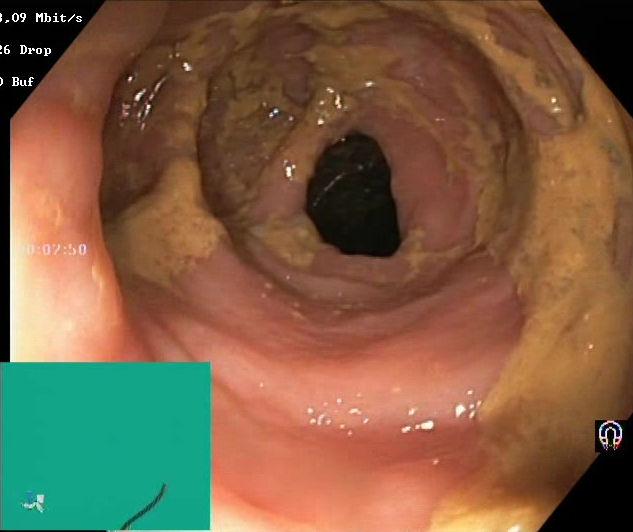Colonoscopy — BBPS score 0–1 (inadequate preparation).